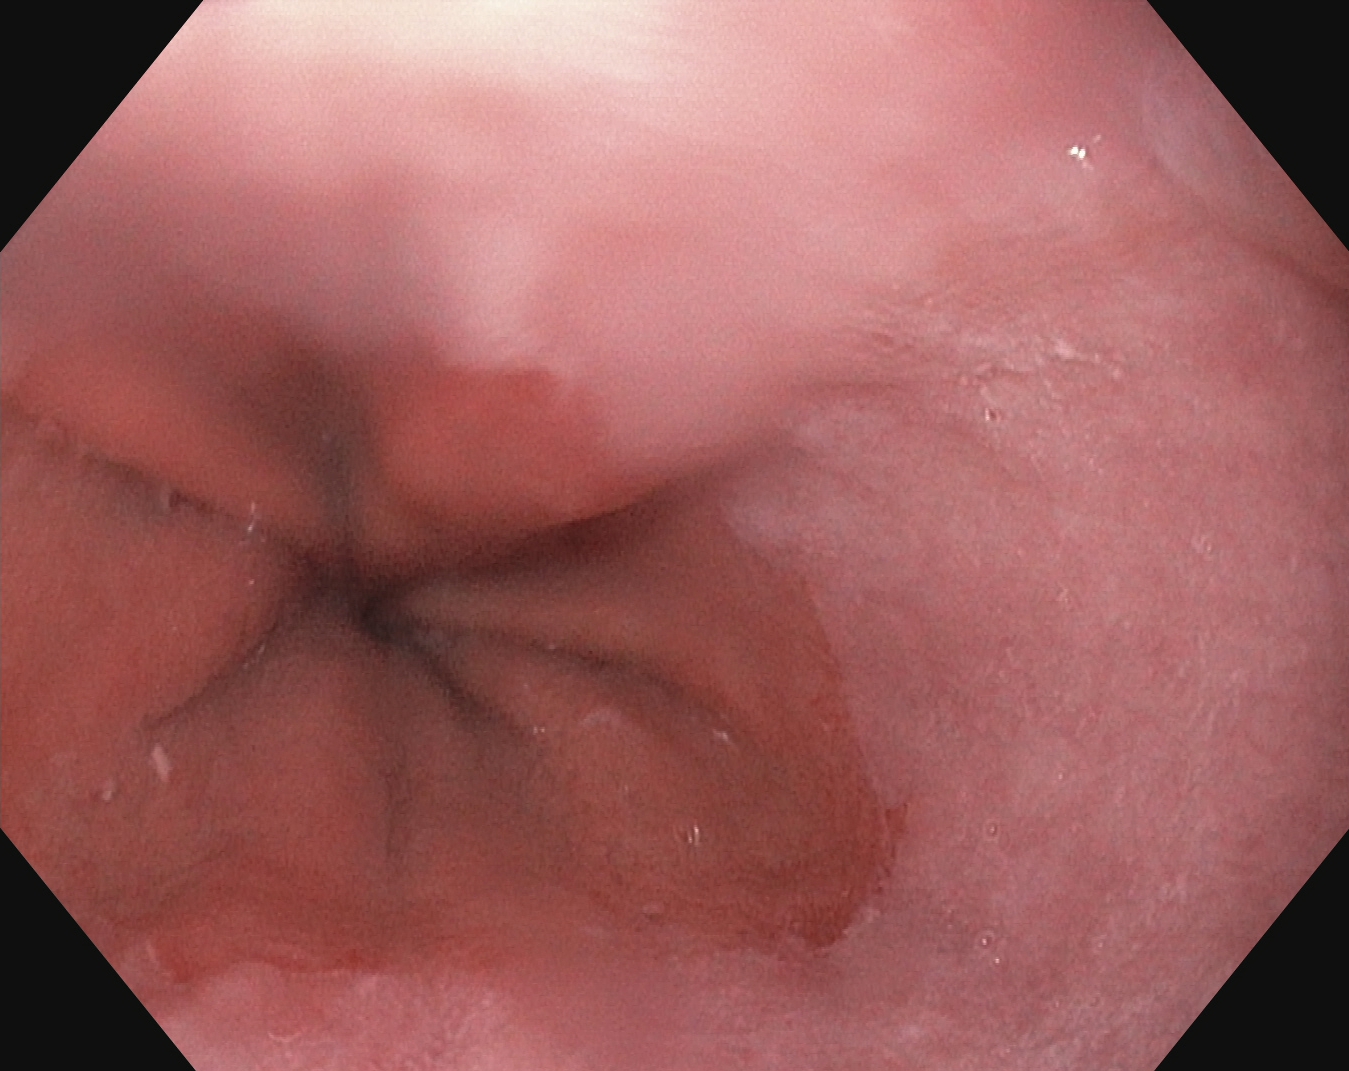EGD — Z-line (gastroesophageal junction).